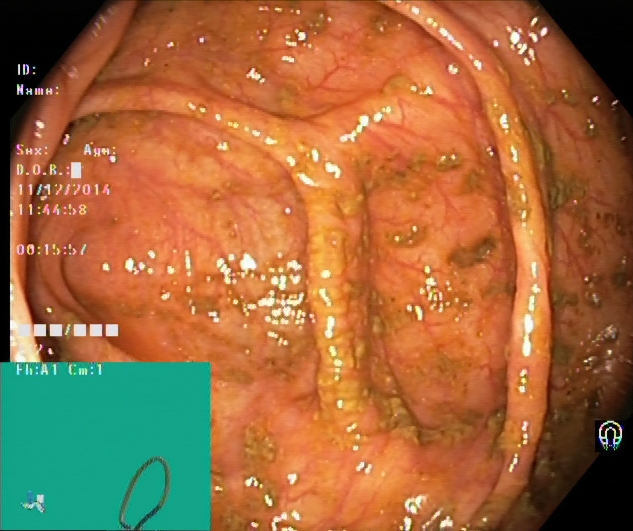{"modality": "lower-GI endoscopy", "tract": "lower GI tract", "finding": "cecum"}